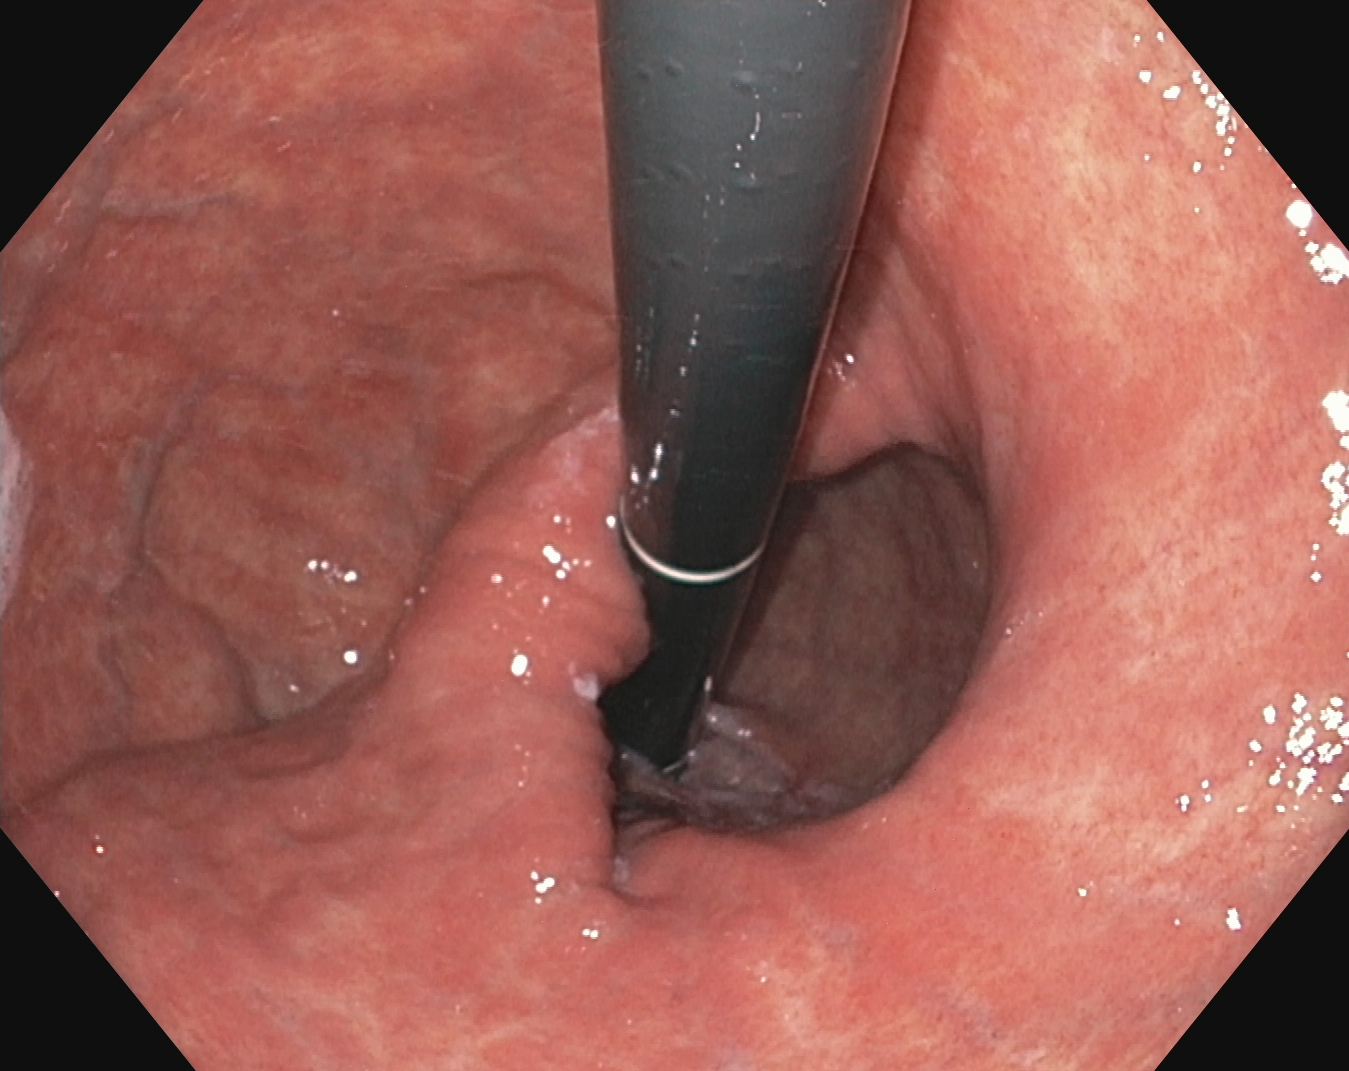modality: EGD; category: anatomical landmark; finding: stomach in retroflexion